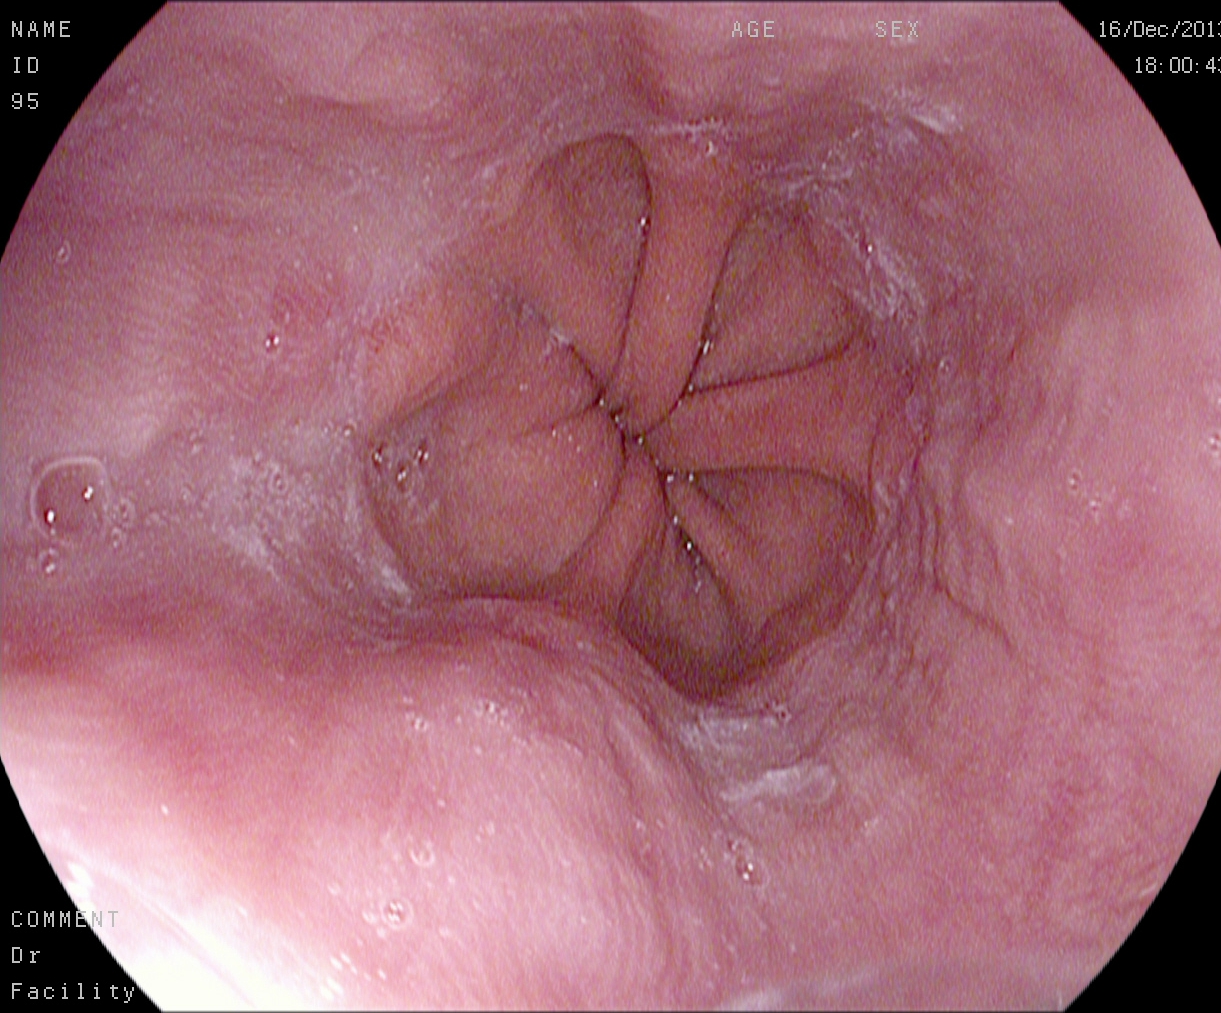This endoscopy frame of the upper GI tract shows Z-line (gastroesophageal junction).